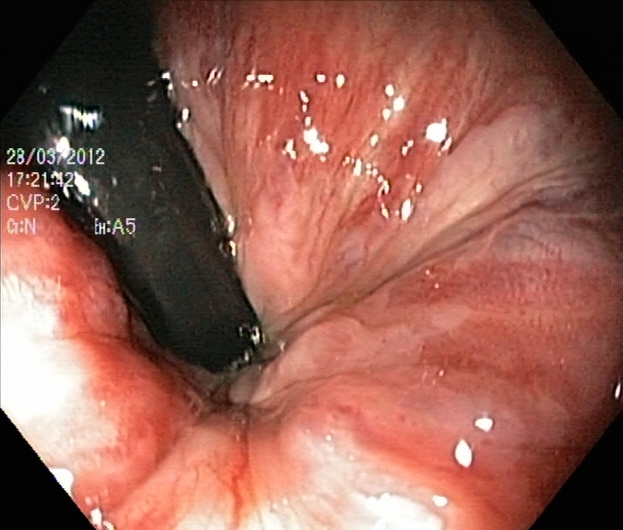Endoscopic frame showing rectum in retroflexion.